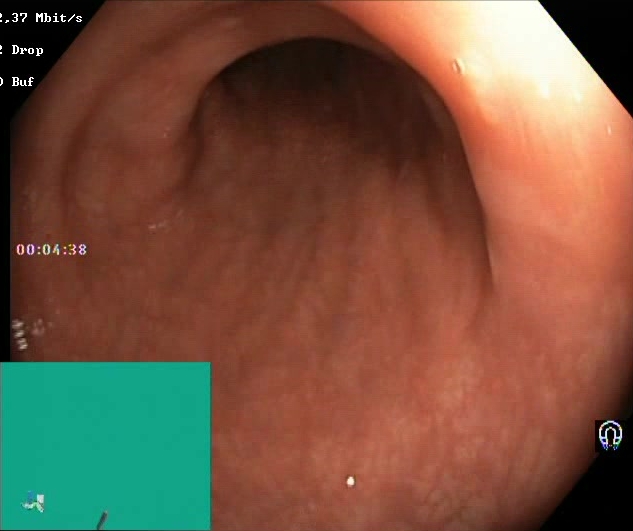This endoscopic image of the lower GI tract shows Boston Bowel Preparation Scale score 2–3 (adequate preparation).